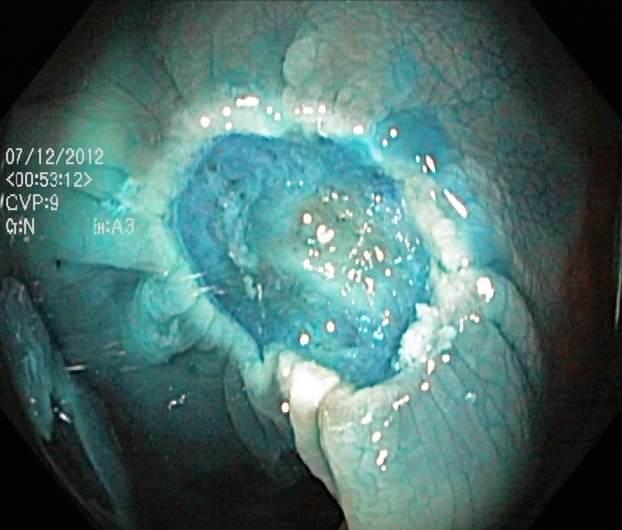Lower gastrointestinal endoscopy. Therapeutic intervention. Finding: dyed resection margins (post-polypectomy).